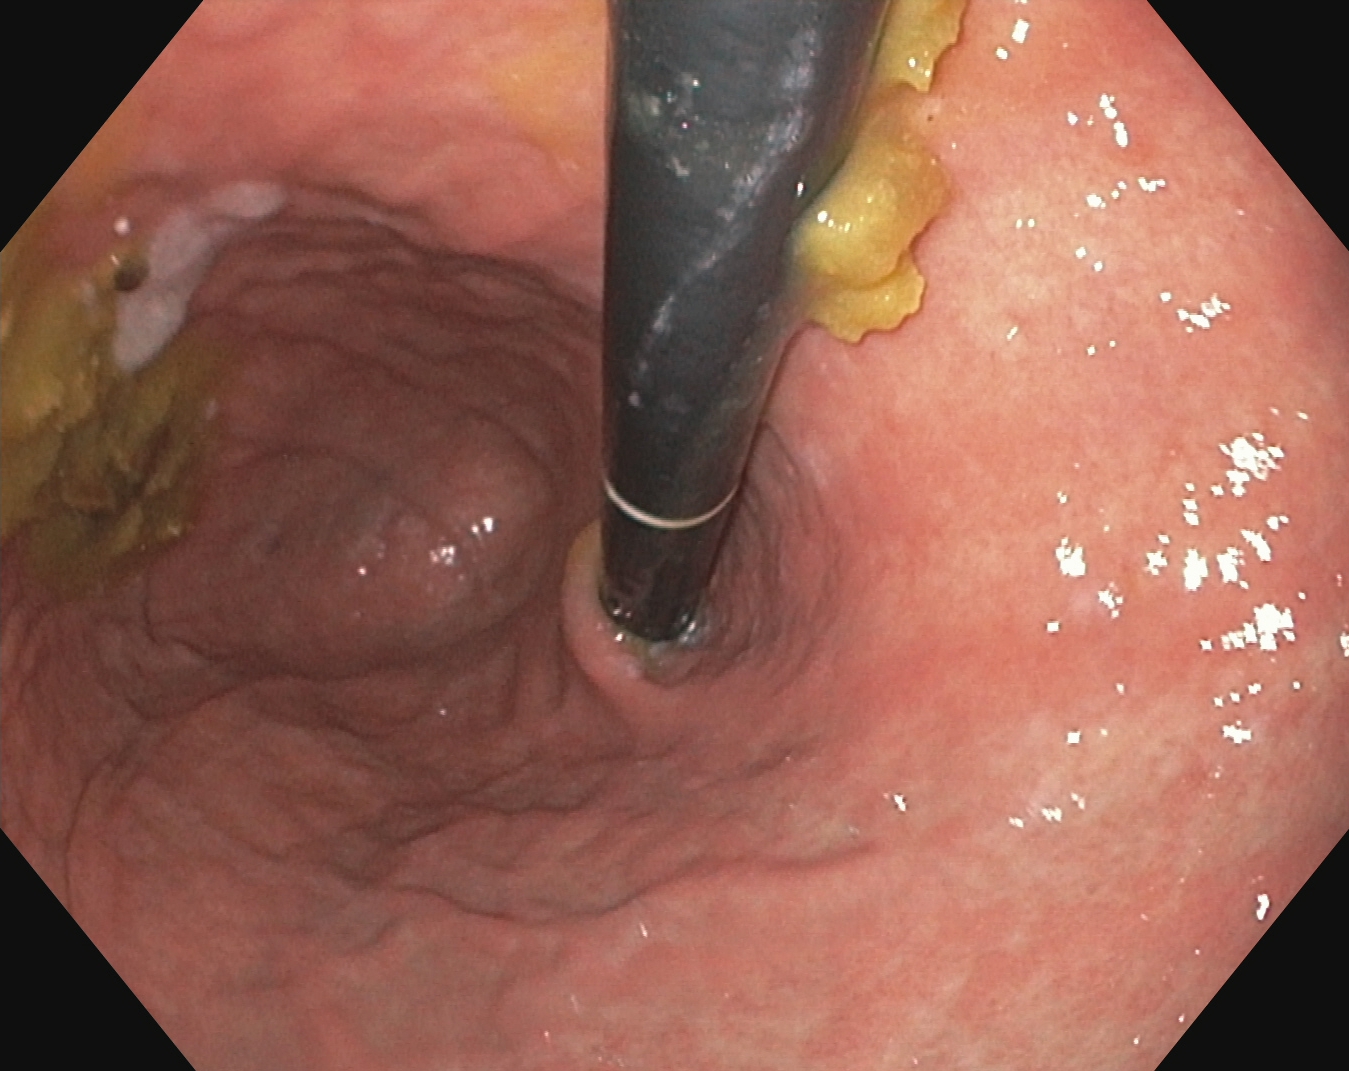PROCEDURE: Gastroscopy.
CATEGORY: Anatomical landmark.
FINDINGS: Stomach in retroflexion.